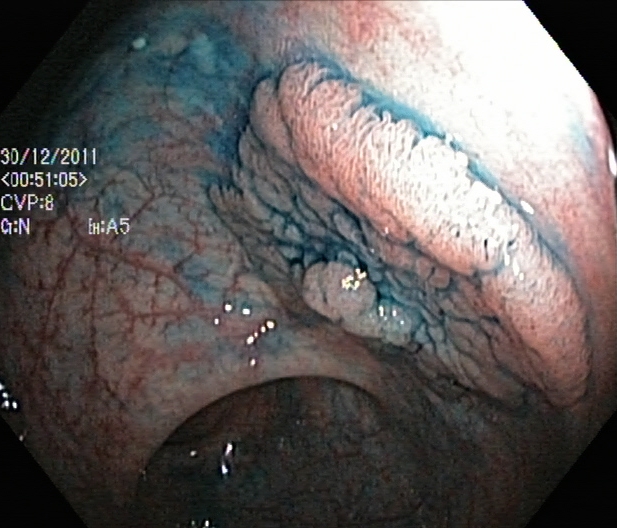Endoscopic image showing dyed and lifted polyp (pre-resection).